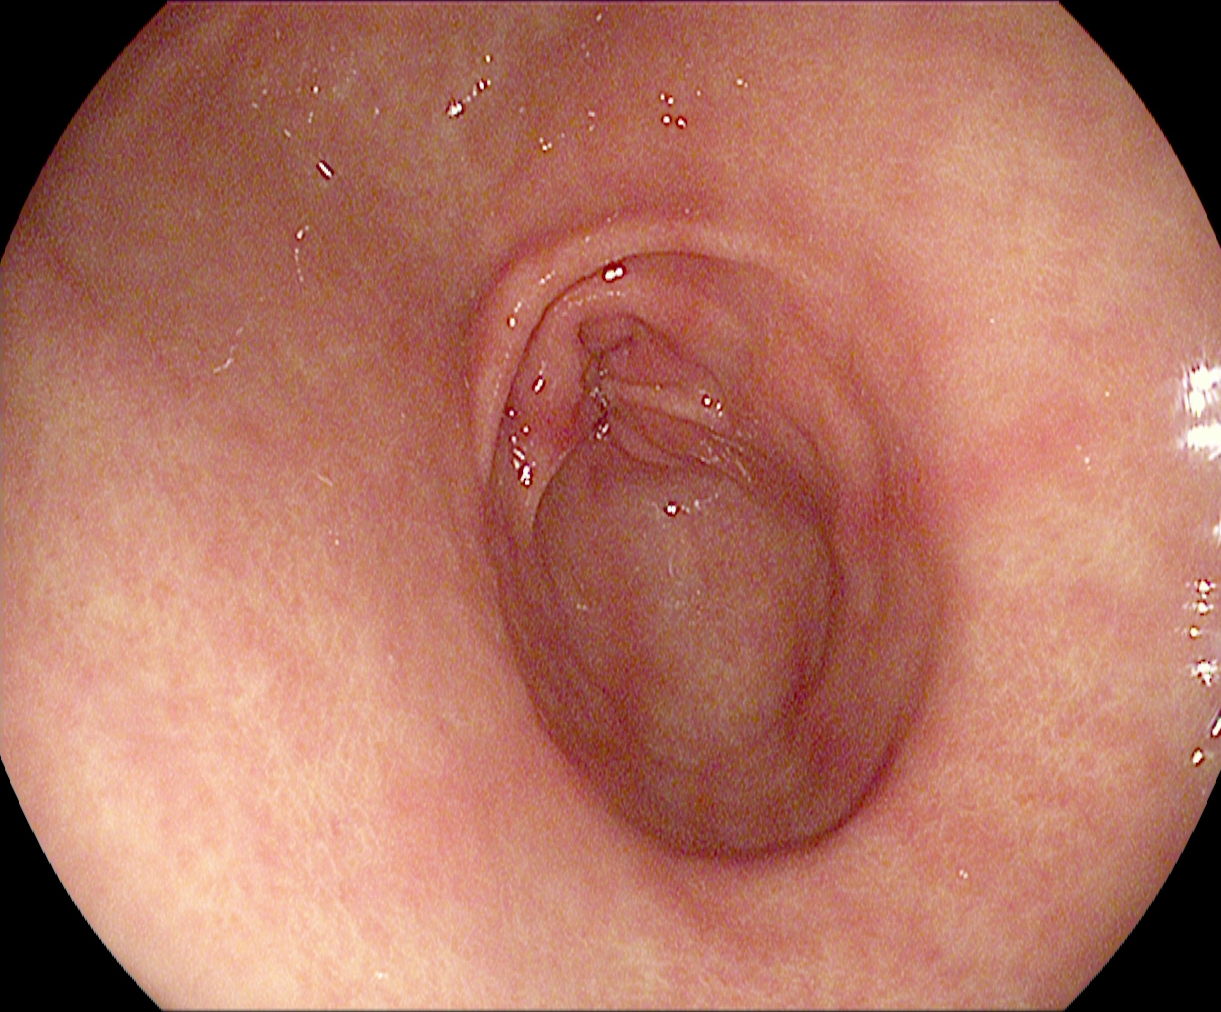PROCEDURE: Upper-GI endoscopy.
CATEGORY: Anatomical landmark.
FINDINGS: Pylorus.